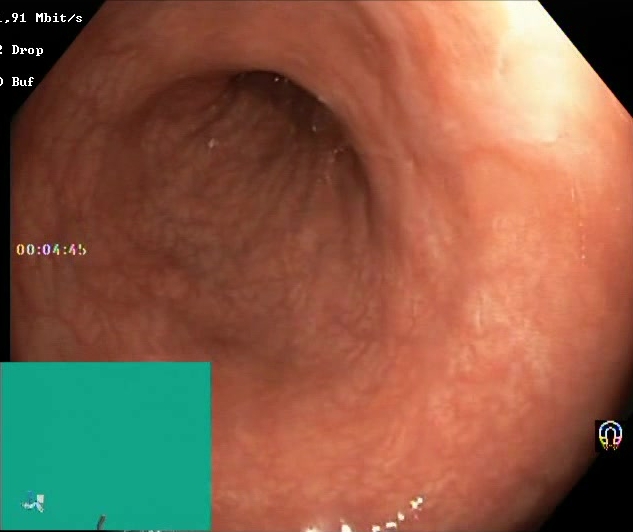Colonoscopy. Tract: lower GI tract. Mucosal-view quality. Finding: Boston Bowel Preparation Scale score 2–3 (adequate preparation).